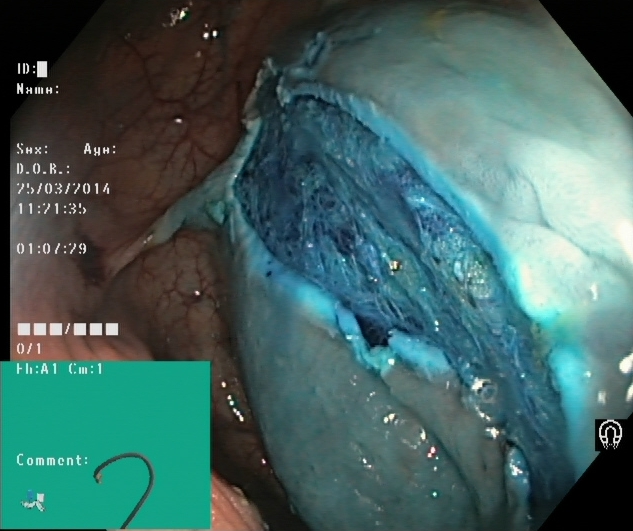modality: lower gastrointestinal endoscopy
finding: dyed resection margins (post-polypectomy)